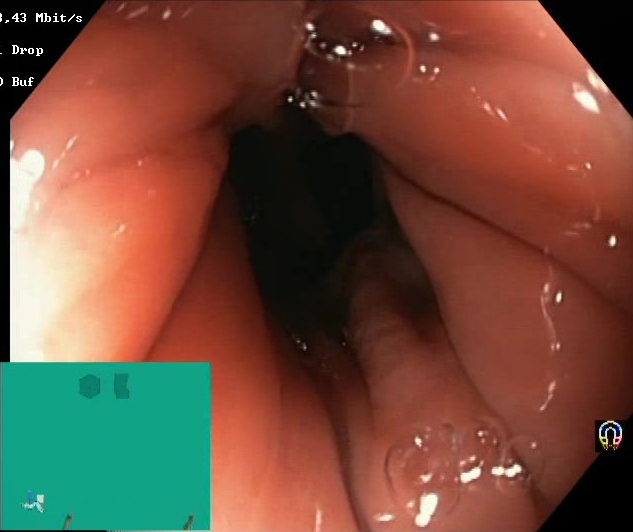Gastrointestinal endoscopy image of the lower GI tract showing Boston Bowel Preparation Scale score 2–3 (adequate preparation).